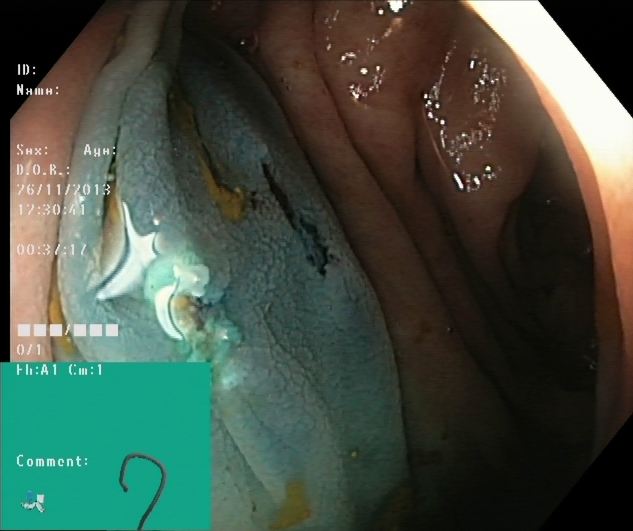{"modality": "lower-GI endoscopy", "tract": "lower GI tract", "category": "therapeutic intervention", "finding": "dyed resection margins (post-polypectomy)"}